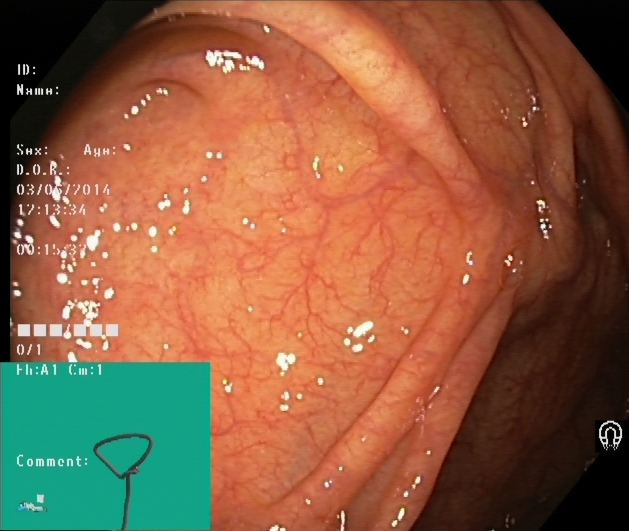This endoscopic image shows cecum.